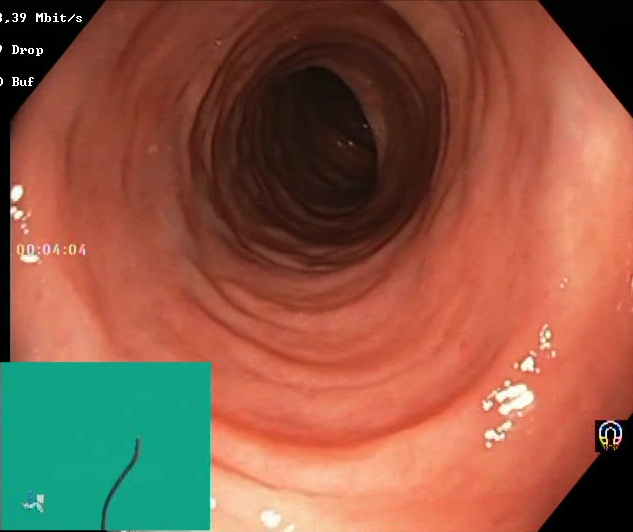Endoscopic image of the lower GI tract showing Boston Bowel Preparation Scale score 2–3 (adequate preparation).